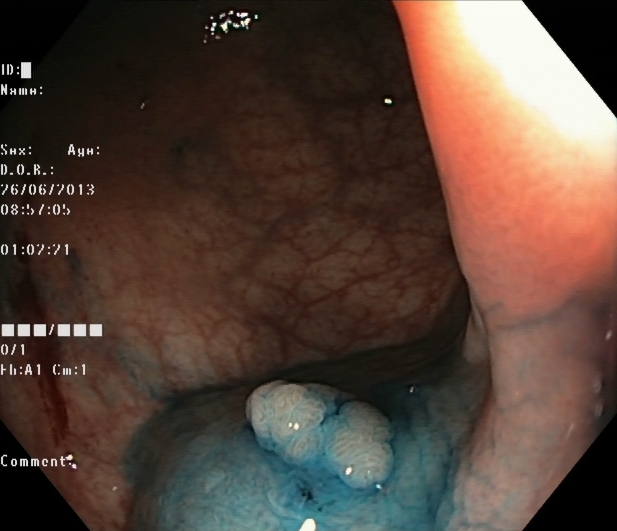Colonoscopy image of the lower GI tract showing dyed and lifted polyp (pre-resection).